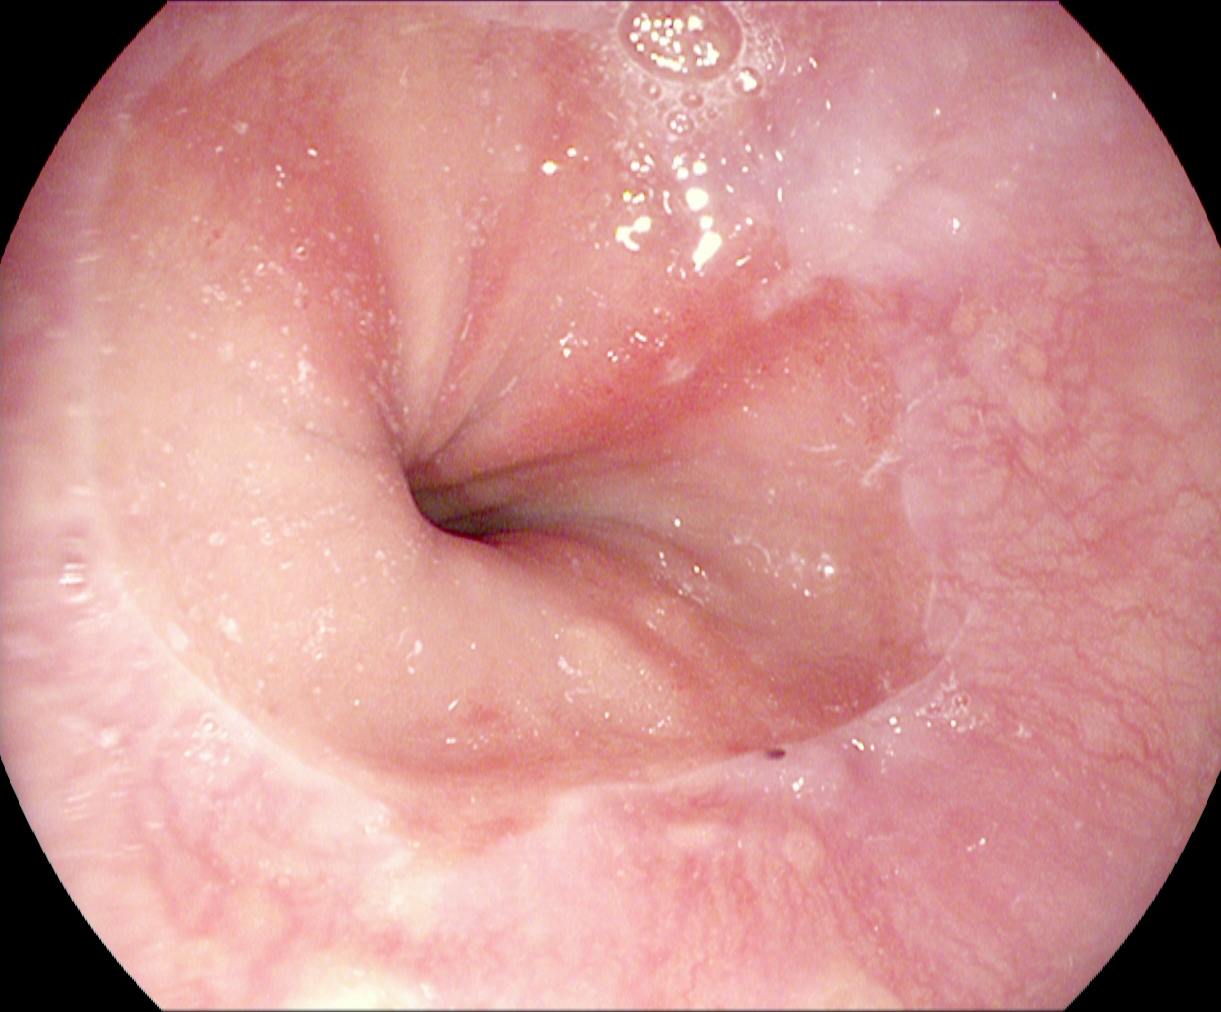GI endoscopy image showing Z-line (gastroesophageal junction).